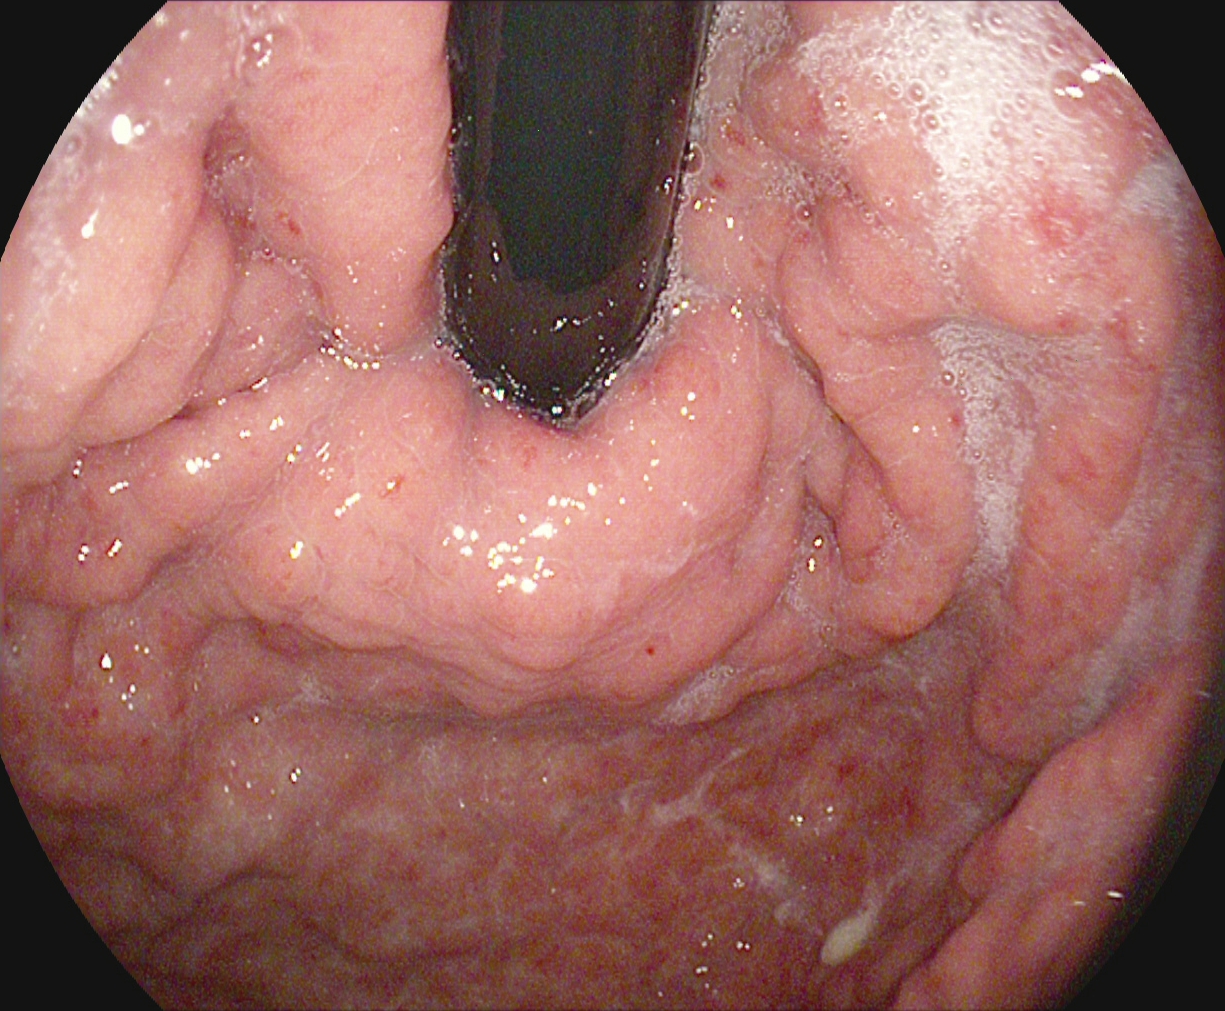modality: EGD; tract: upper GI tract; finding: stomach in retroflexion